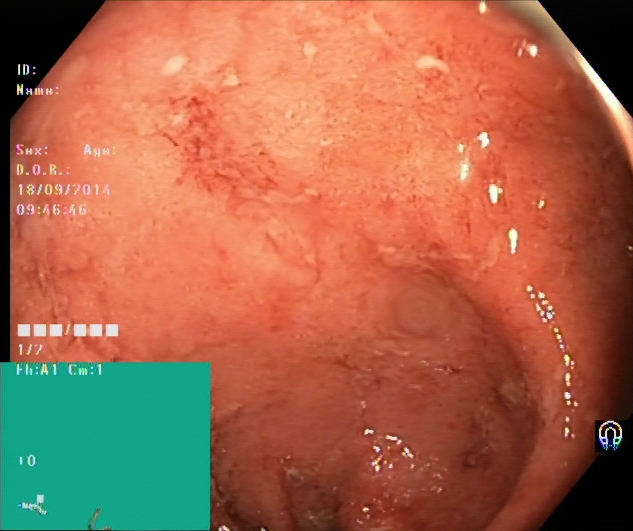Ulcerative colitis, Mayo endoscopic subscore 2.